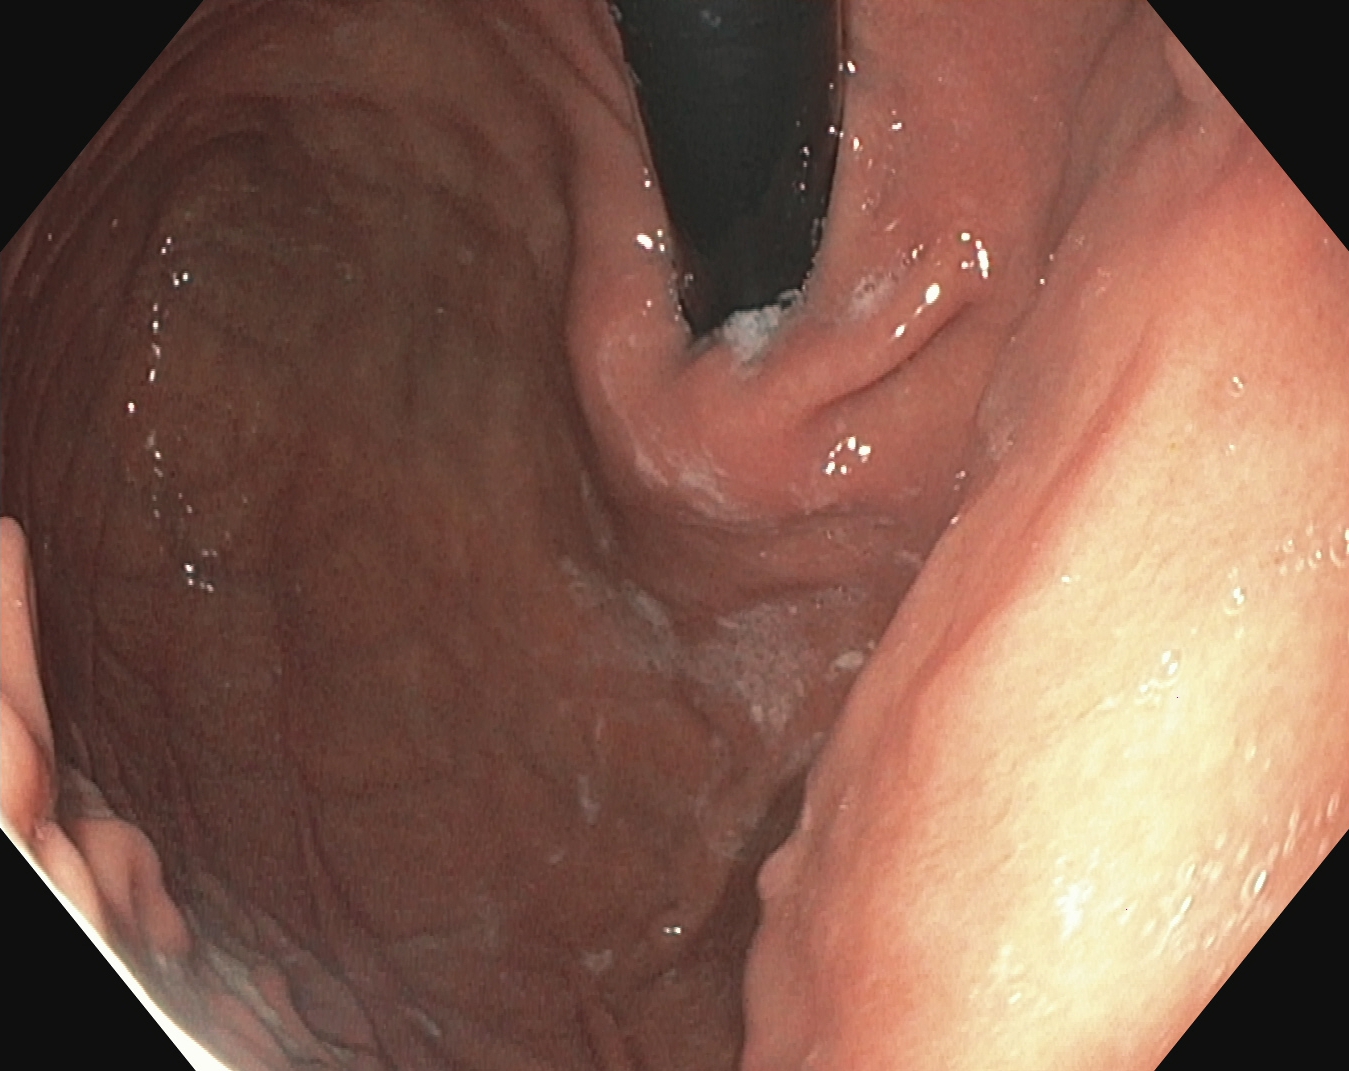Endoscopic frame of the upper GI tract showing stomach in retroflexion.